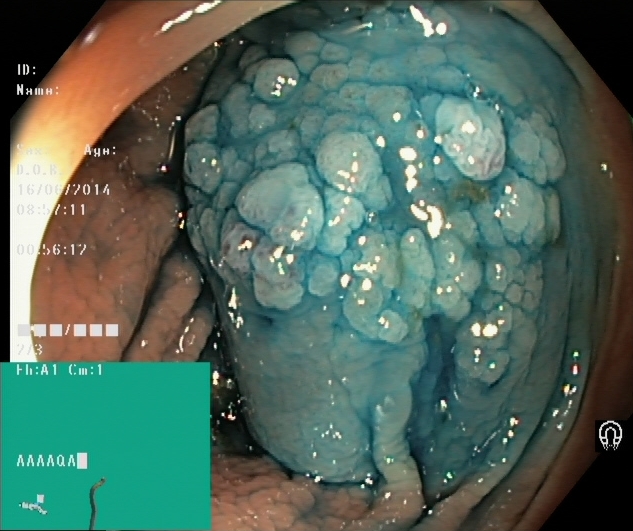Lower-GI endoscopy image showing dyed and lifted polyp (pre-resection).